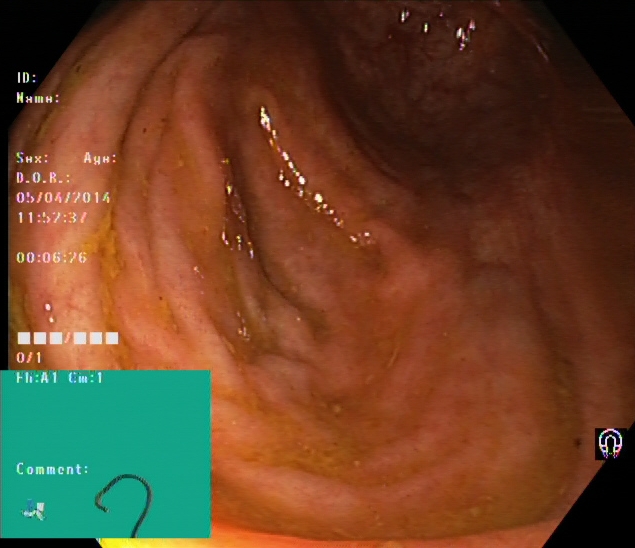This endoscopy frame of the lower GI tract shows cecum.